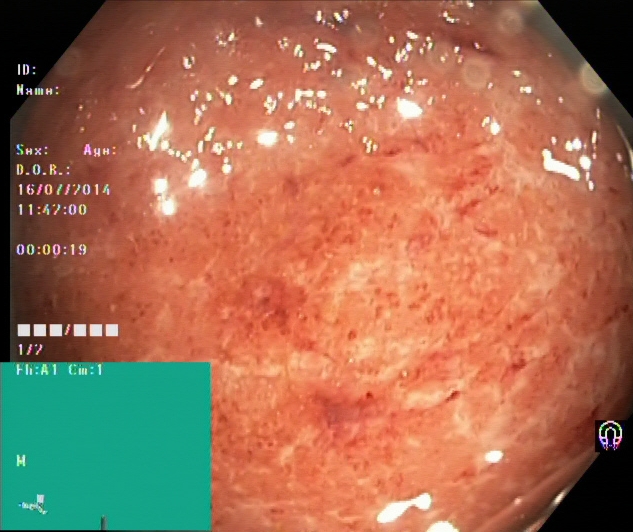{"modality": "colonoscopy", "finding": "ulcerative colitis, Mayo endoscopic subscore 2"}